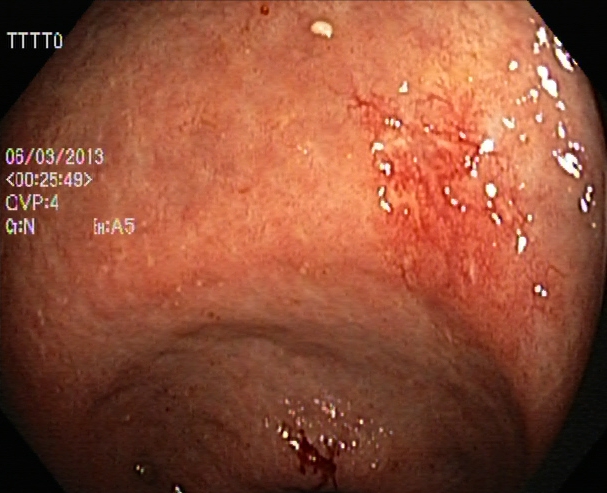This endoscopy frame shows ulcerative colitis, Mayo endoscopic subscore 1.